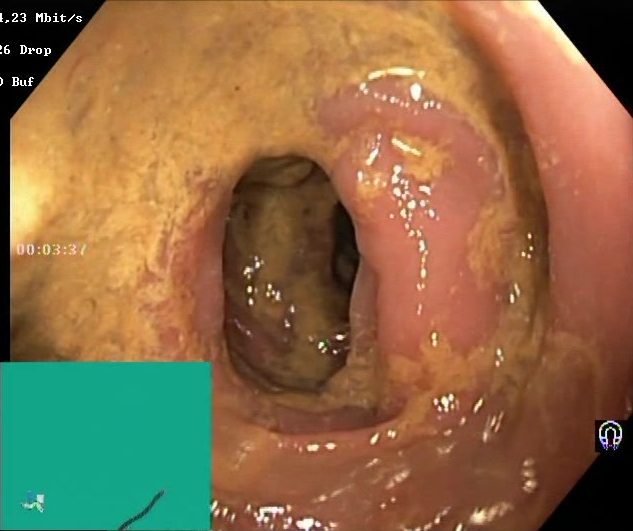Colonoscopy. Tract: lower GI tract. Finding: Boston Bowel Preparation Scale score 0–1 (inadequate preparation).